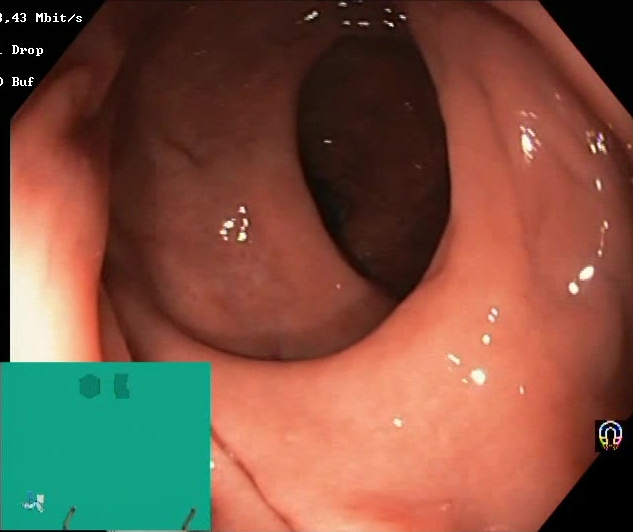Lower-GI endoscopy. Finding: Boston Bowel Preparation Scale score 2–3 (adequate preparation).